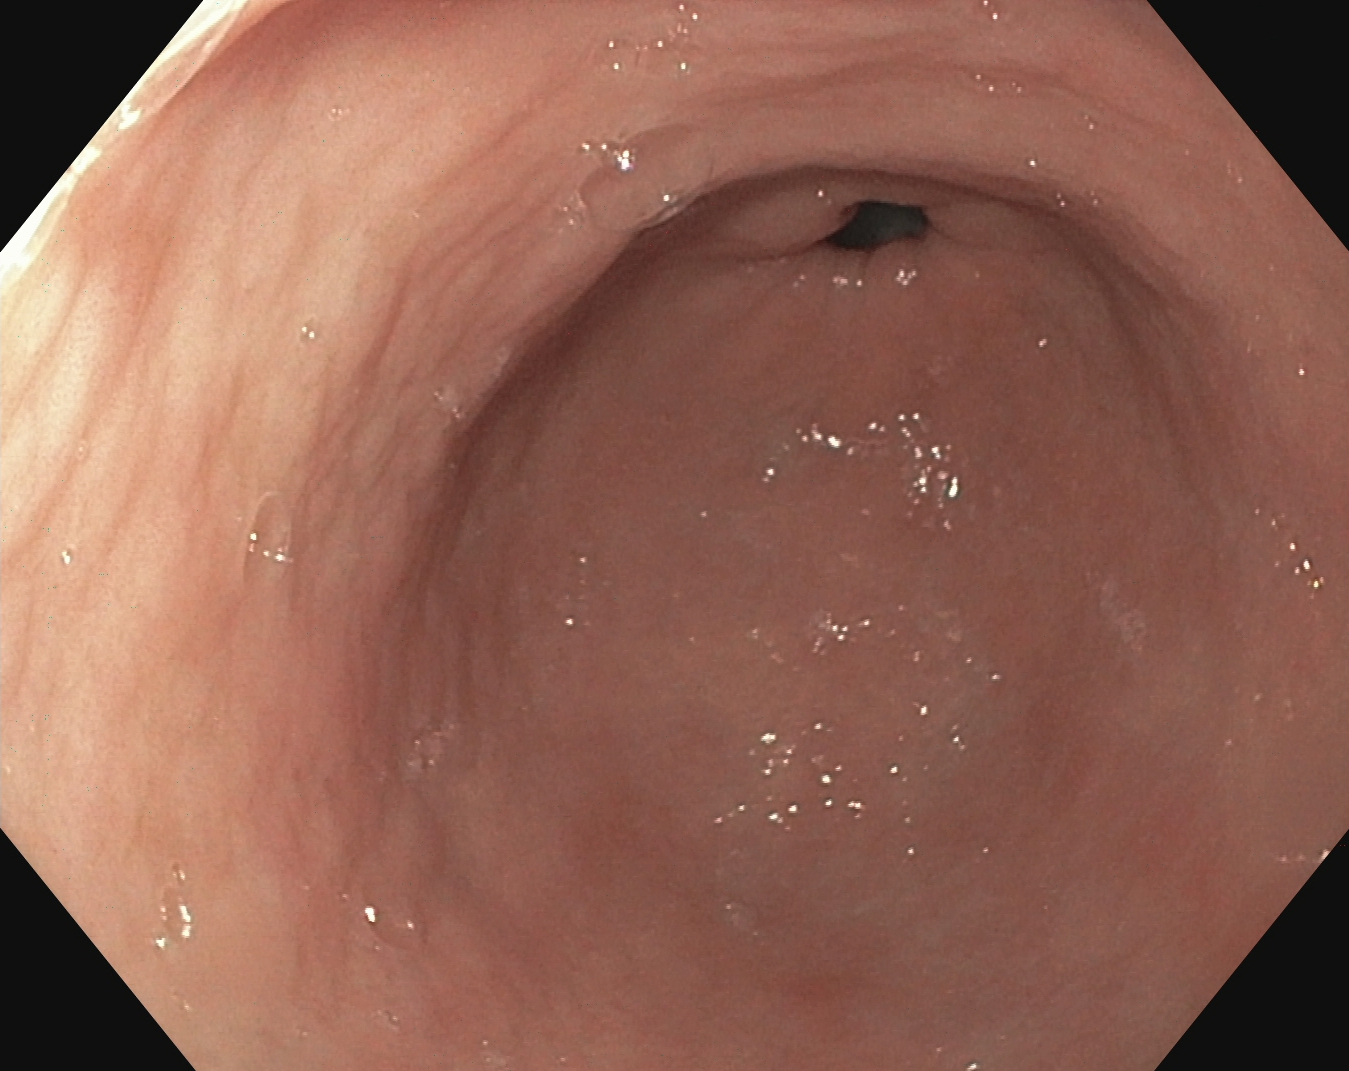PROCEDURE: Upper-GI endoscopy.
FINDINGS: Pylorus.